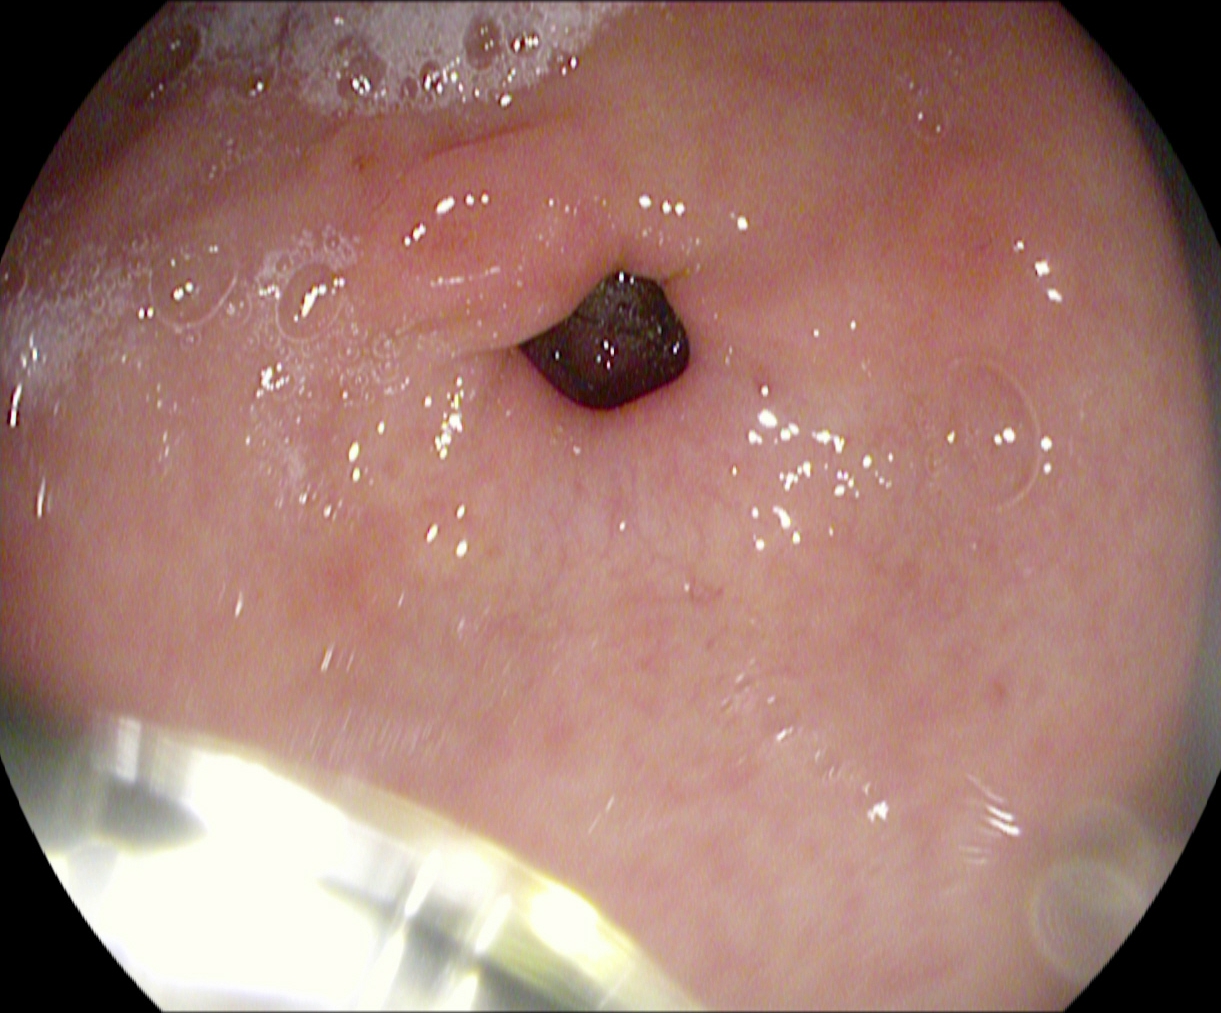PROCEDURE: Gastroscopy.
CATEGORY: Anatomical landmark.
FINDINGS: Pylorus.